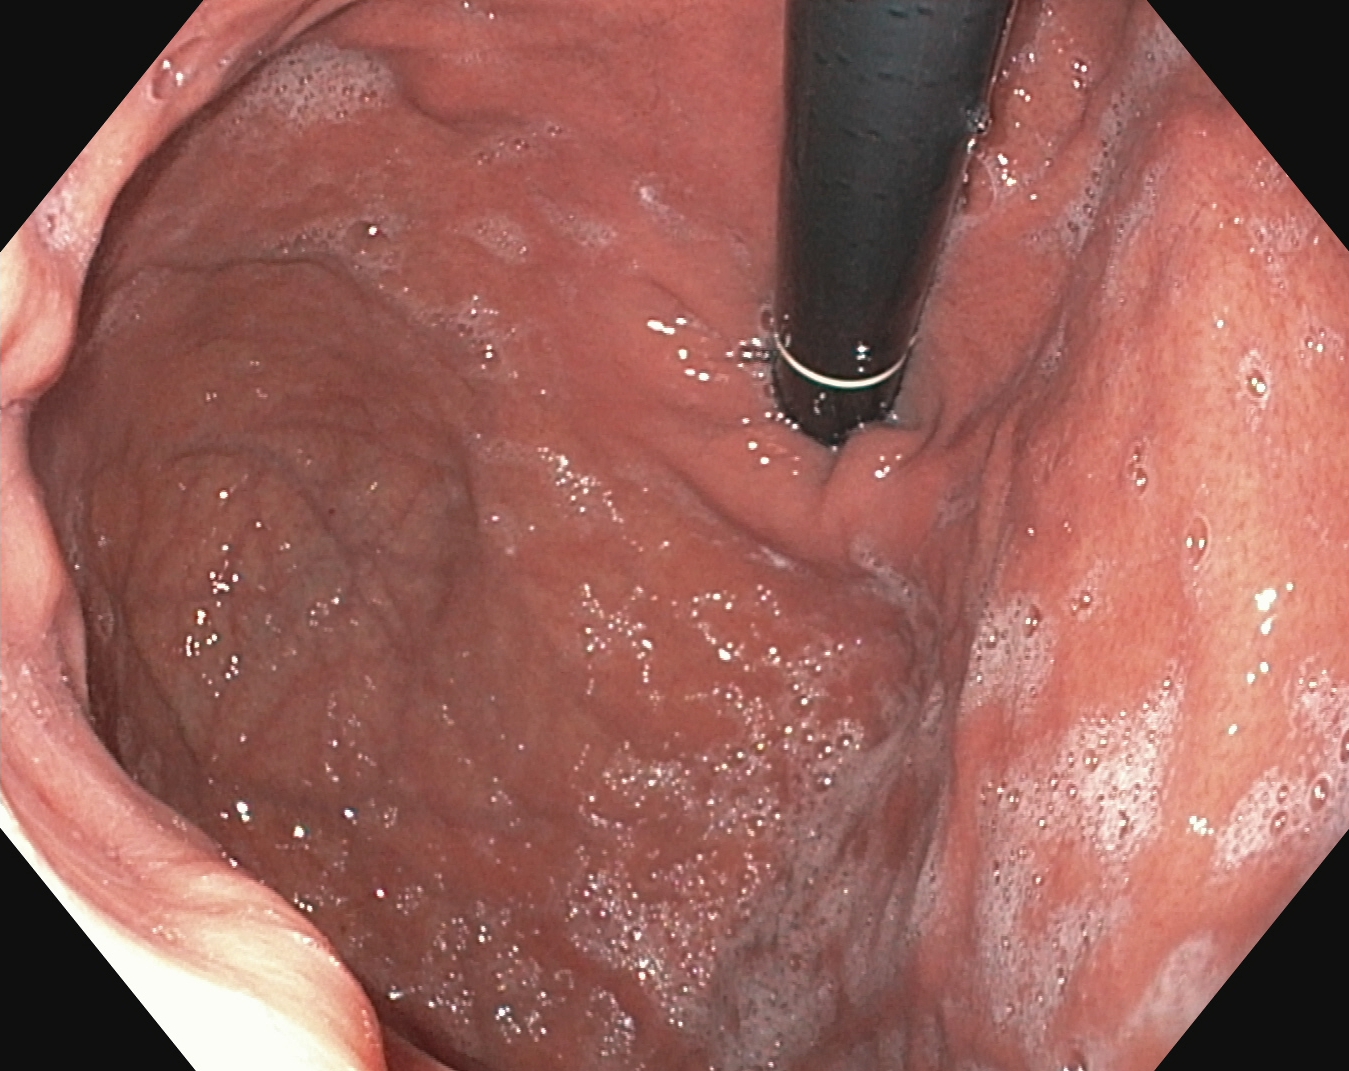This endoscopy frame of the upper GI tract shows stomach in retroflexion.